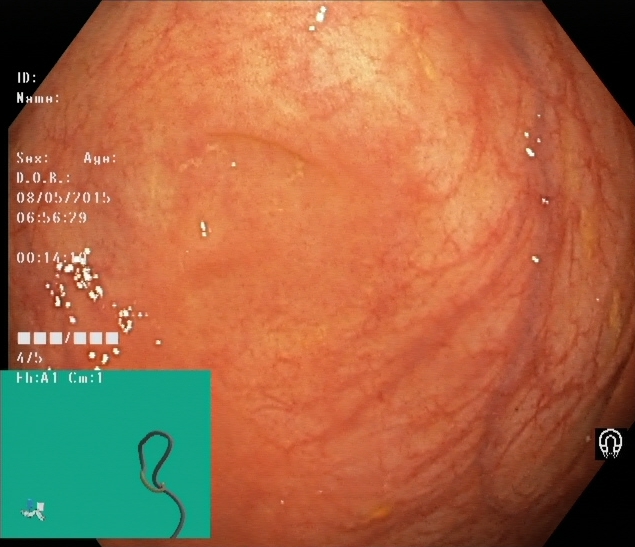Endoscopy image of the lower GI tract showing cecum.